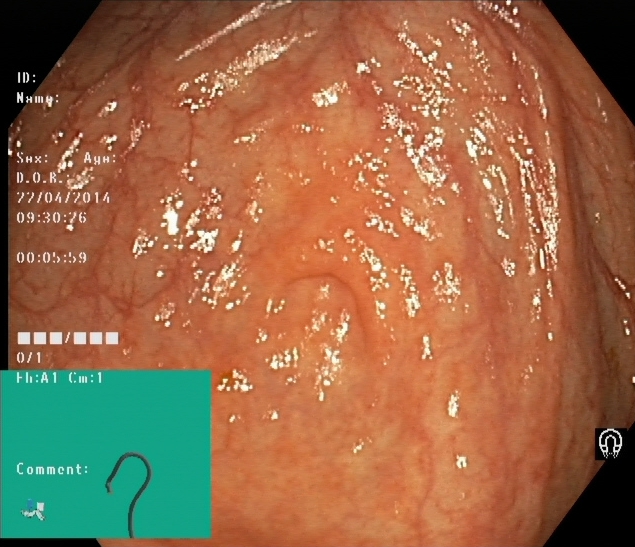modality: lower-GI endoscopy | tract: lower GI tract | category: anatomical landmark | finding: cecum